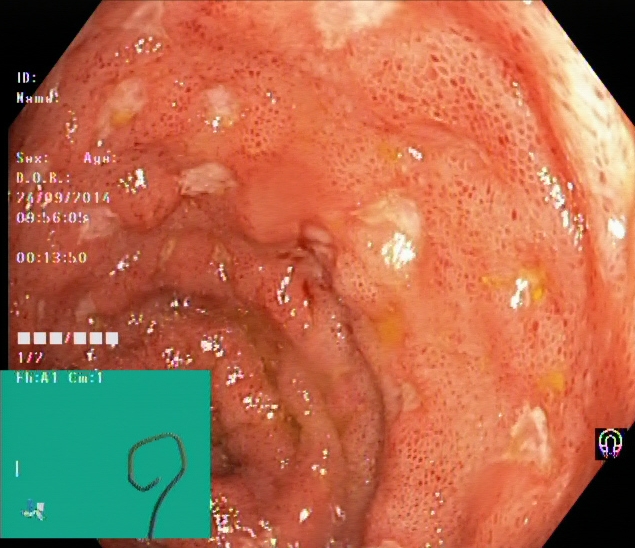ulcerative colitis, Mayo endoscopic subscore 3.